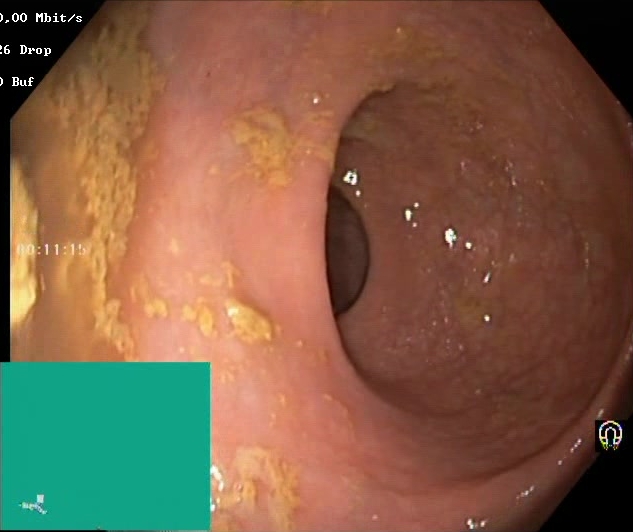This endoscopic image shows Boston Bowel Preparation Scale score 0–1 (inadequate preparation).